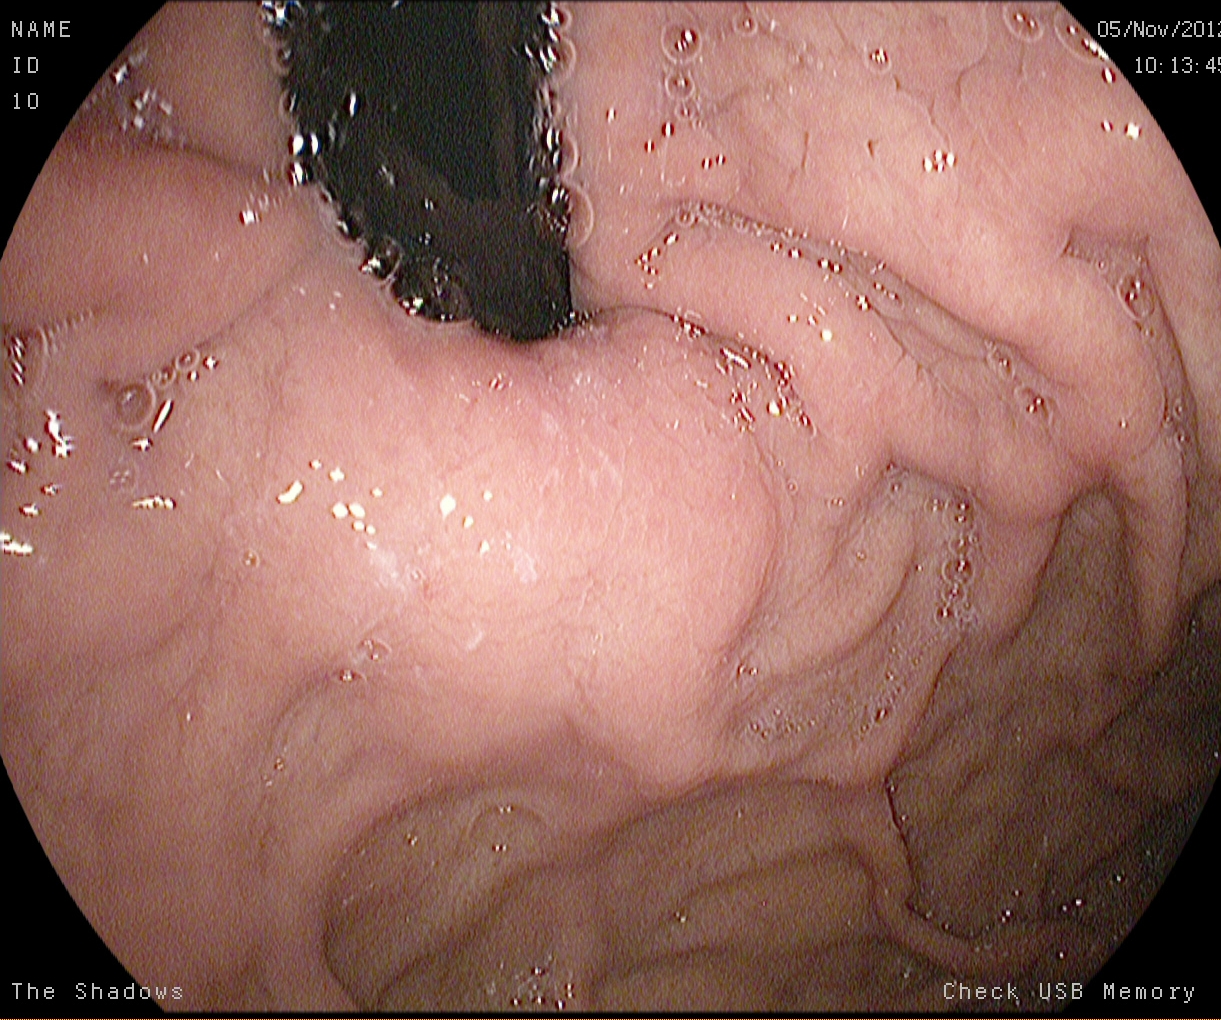{"modality": "esophagogastroduodenoscopy", "finding": "stomach in retroflexion"}